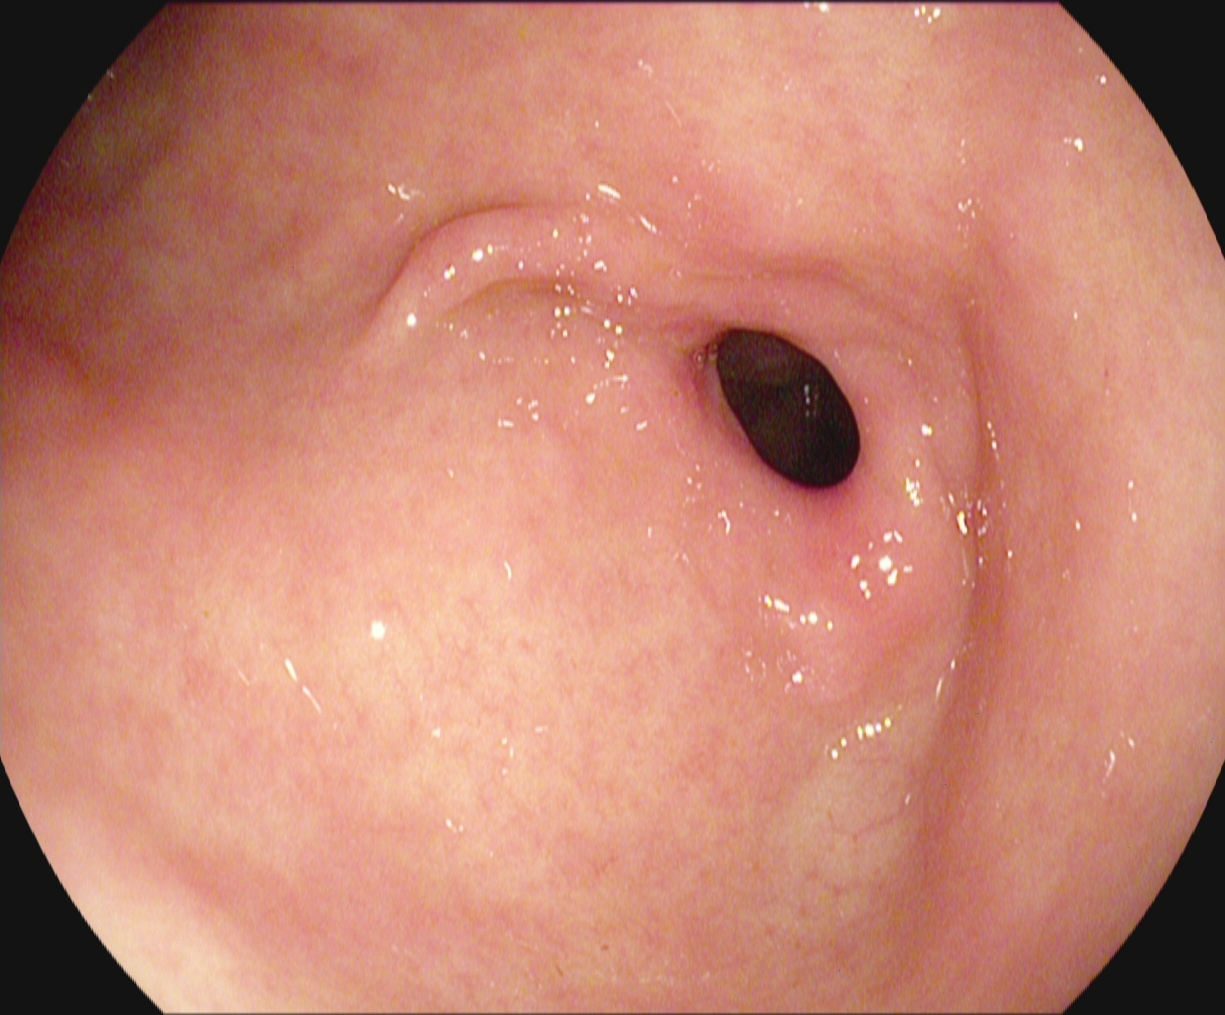{"modality": "gastroscopy", "tract": "upper GI tract", "finding": "pylorus"}